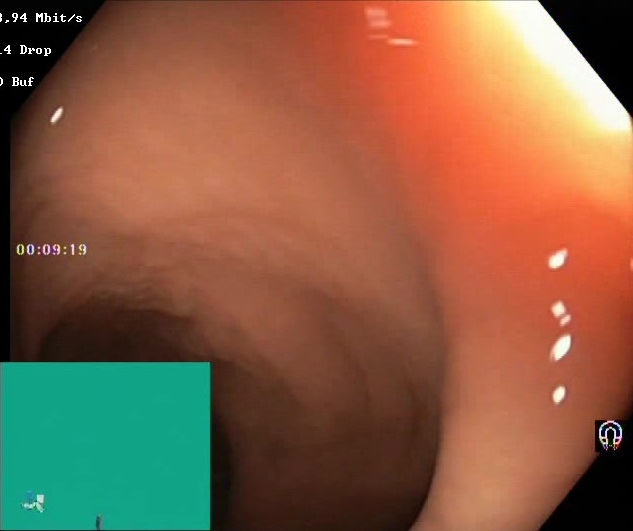modality: lower-GI endoscopy; tract: lower GI tract; finding: BBPS score 2–3 (adequate preparation)